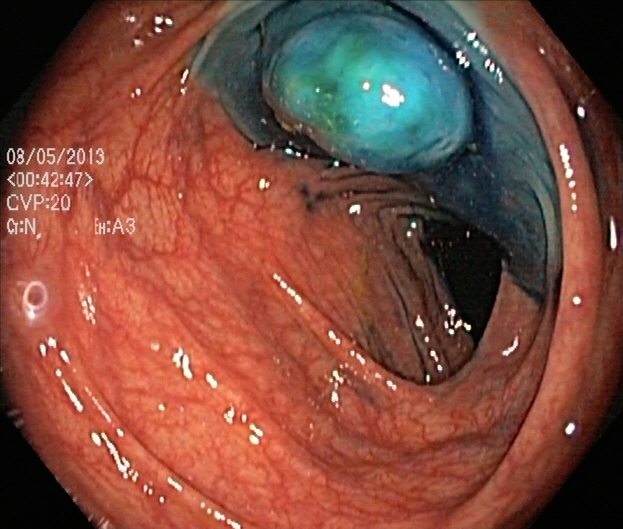modality: lower-GI endoscopy | finding: dyed and lifted polyp (pre-resection)